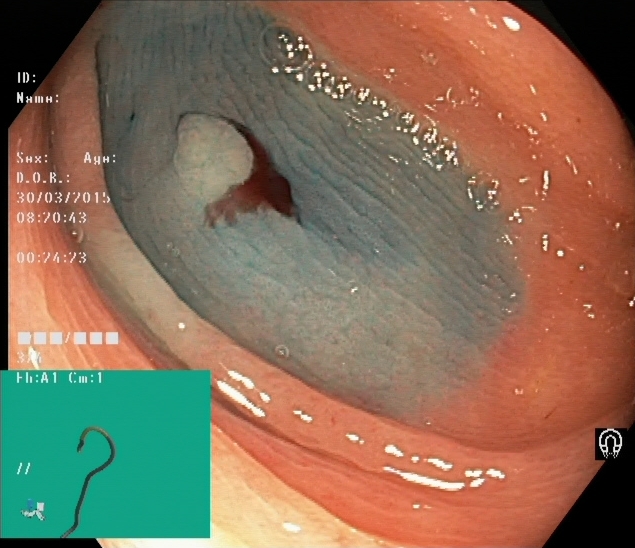This endoscopy frame of the lower GI tract shows dyed and lifted polyp (pre-resection).